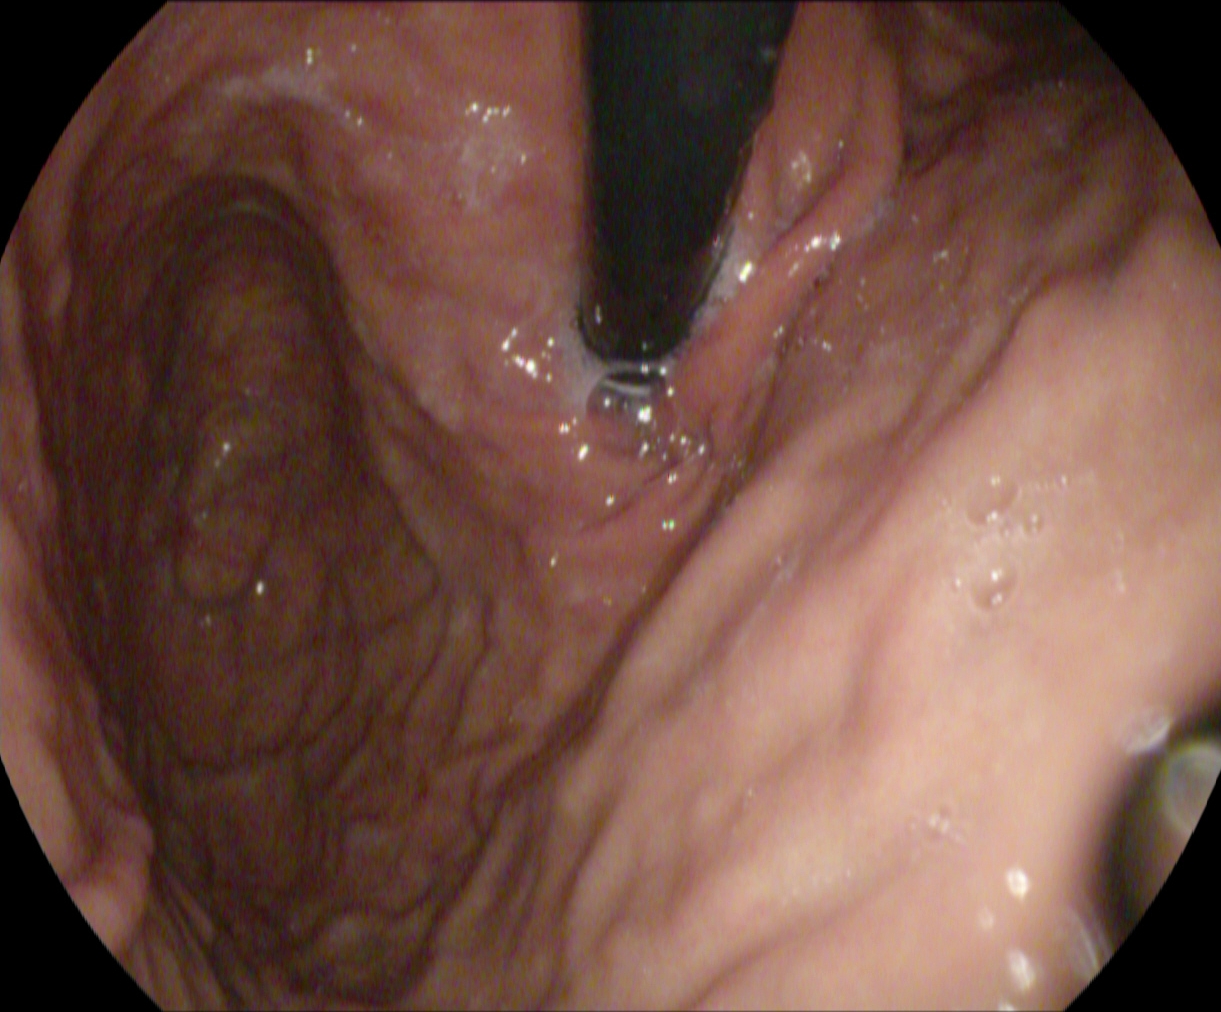{"modality": "EGD", "tract": "upper GI tract", "category": "anatomical landmark", "finding": "stomach in retroflexion"}